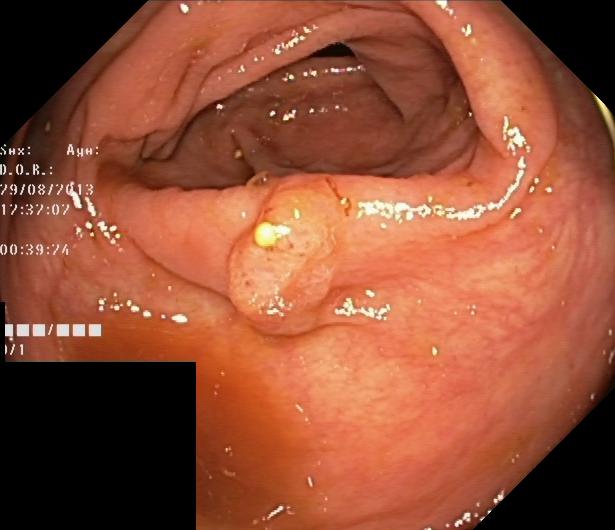Colorectal polyp(s).